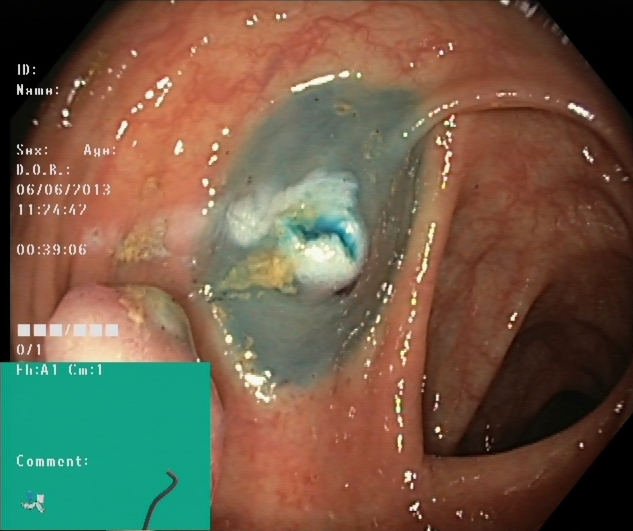modality: lower-GI endoscopy; tract: lower GI tract; finding: dyed resection margins (post-polypectomy)